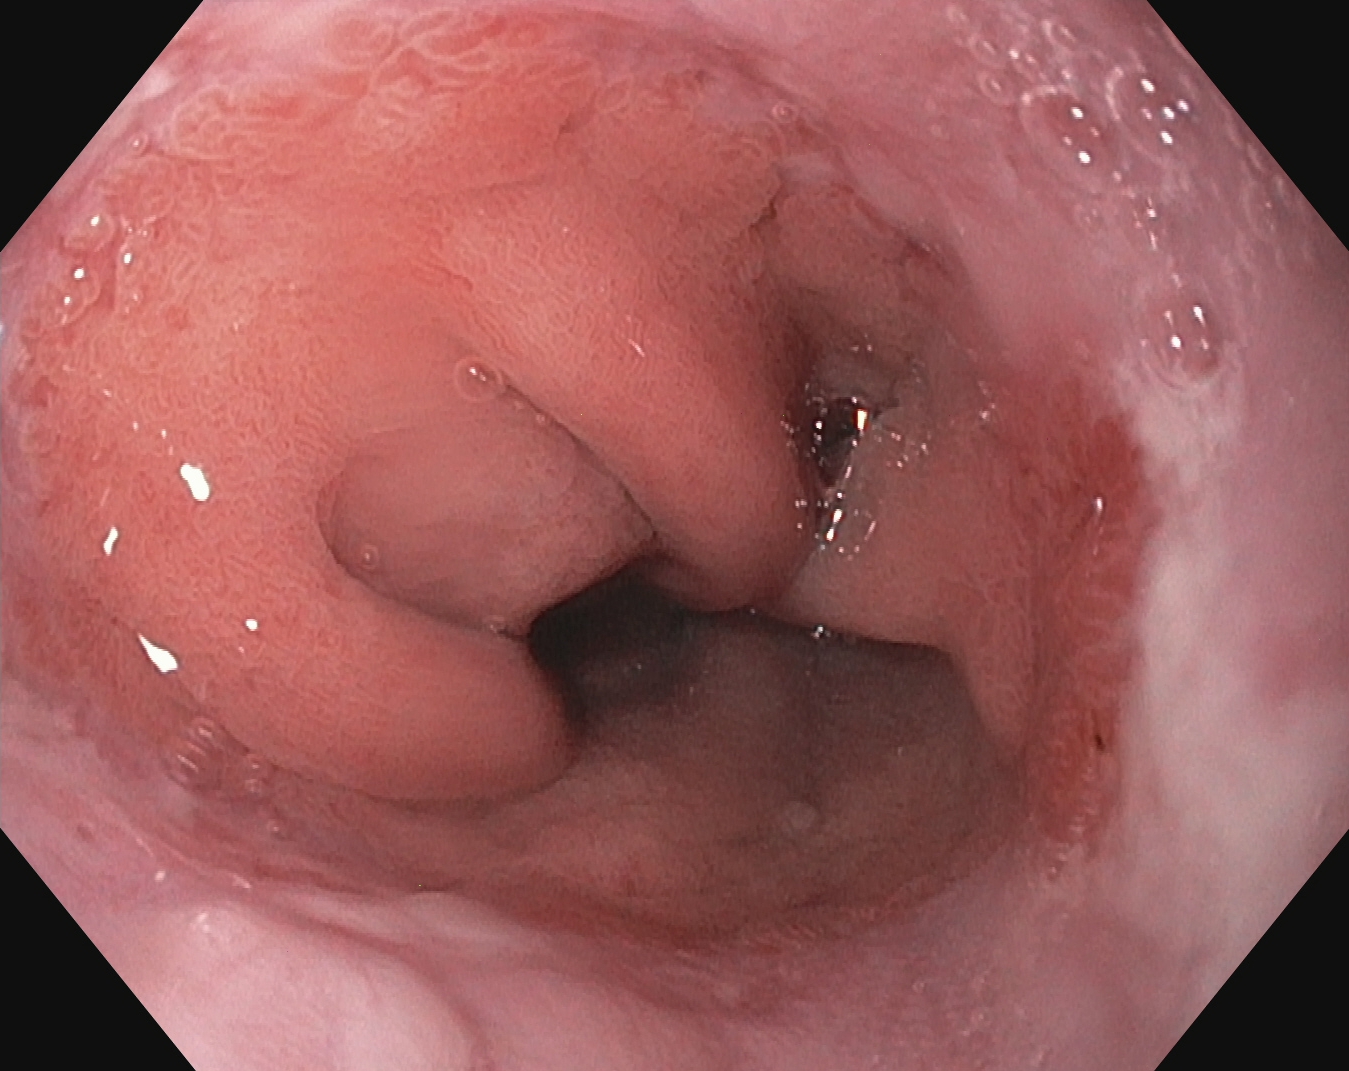PROCEDURE: Upper-GI endoscopy.
FINDINGS: Reflux esophagitis, LA grade B–D.